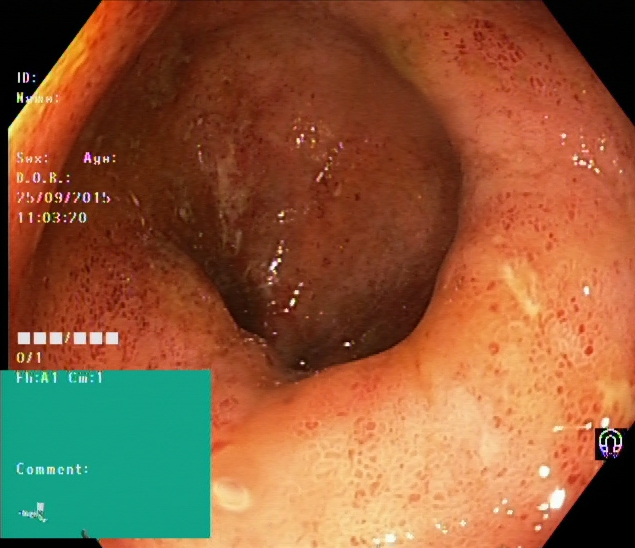modality: lower gastrointestinal endoscopy; finding: UC, Mayo endoscopic subscore 2